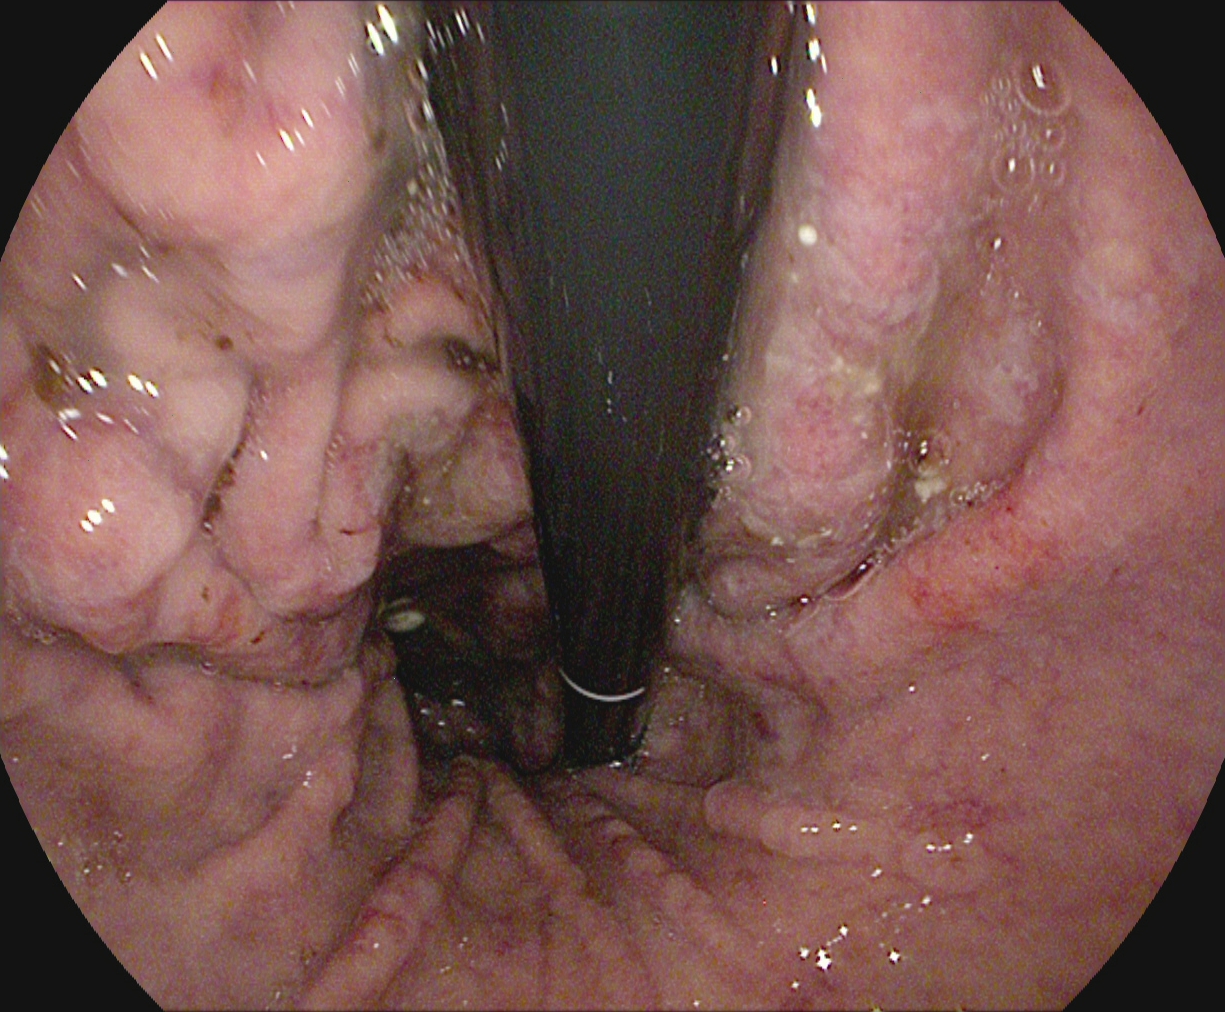Esophagogastroduodenoscopy — stomach in retroflexion.